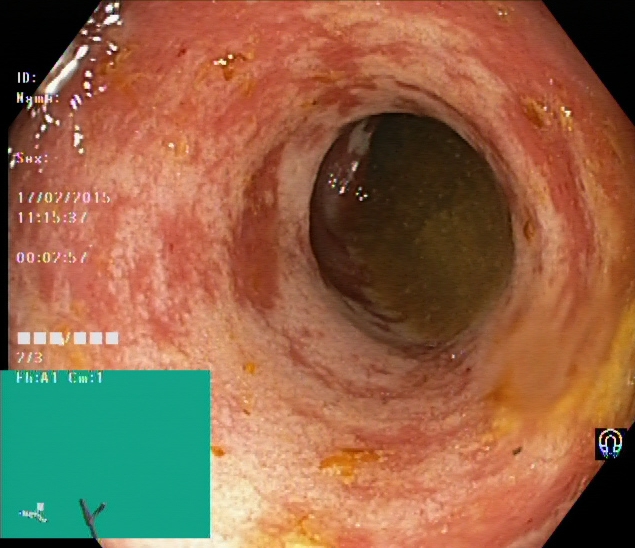PROCEDURE: Colonoscopy.
FINDINGS: Ulcerative colitis, Mayo endoscopic subscore 2.